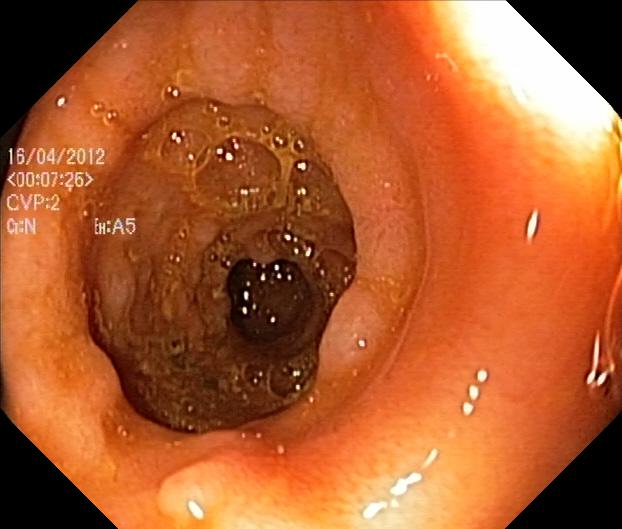Colorectal polyp(s).